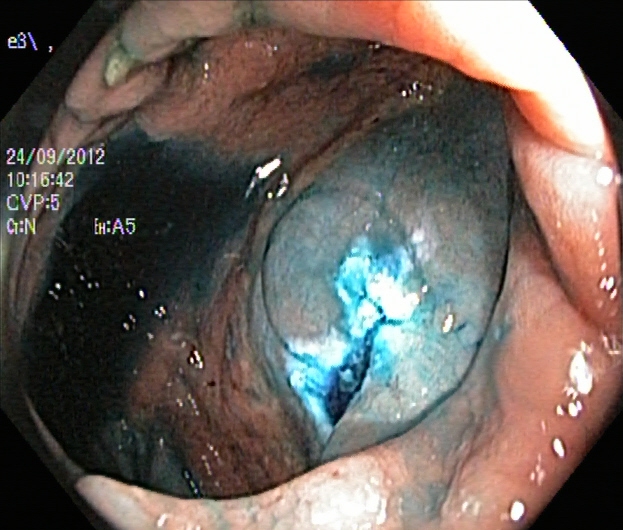{"modality": "lower gastrointestinal endoscopy", "finding": "dyed resection margins (post-polypectomy)"}